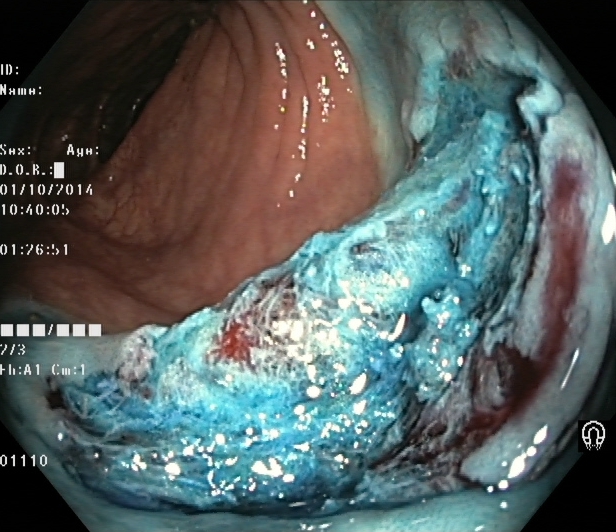Lower-GI endoscopy. Therapeutic intervention. Finding: dyed resection margins (post-polypectomy).